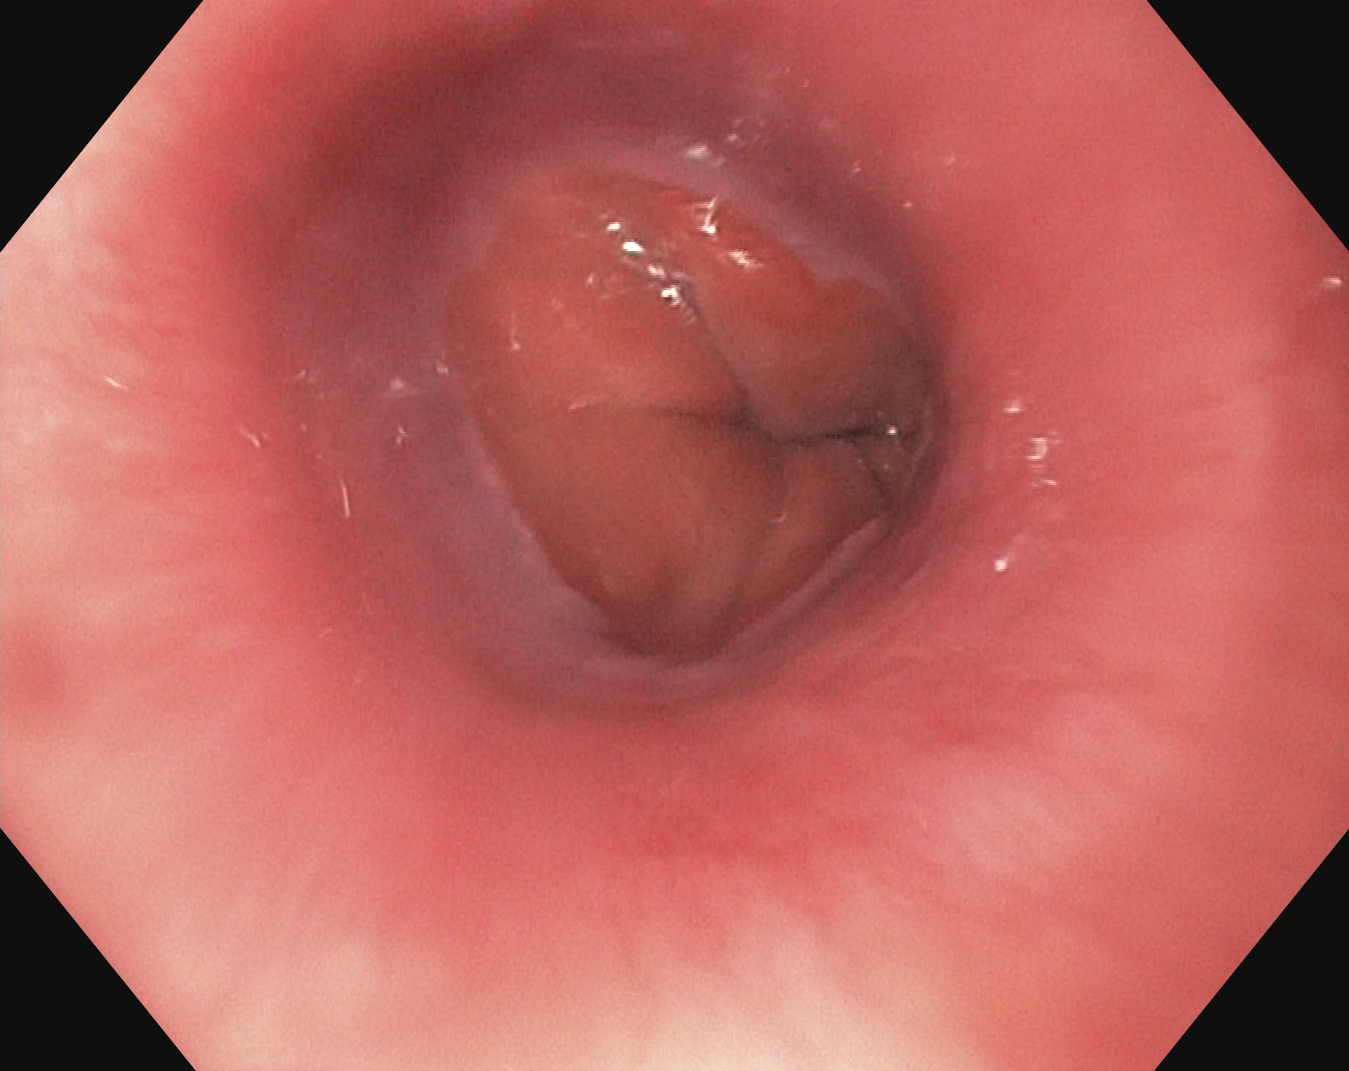{"modality": "esophagogastroduodenoscopy", "category": "anatomical landmark", "finding": "Z-line (gastroesophageal junction)"}